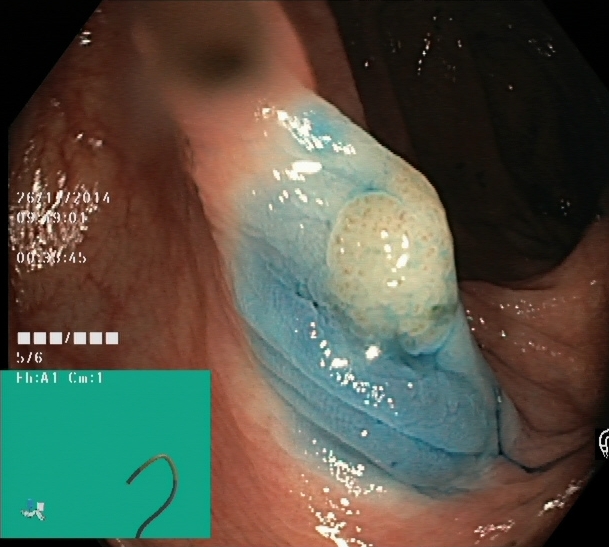Lower gastrointestinal endoscopy — dyed and lifted polyp (pre-resection).